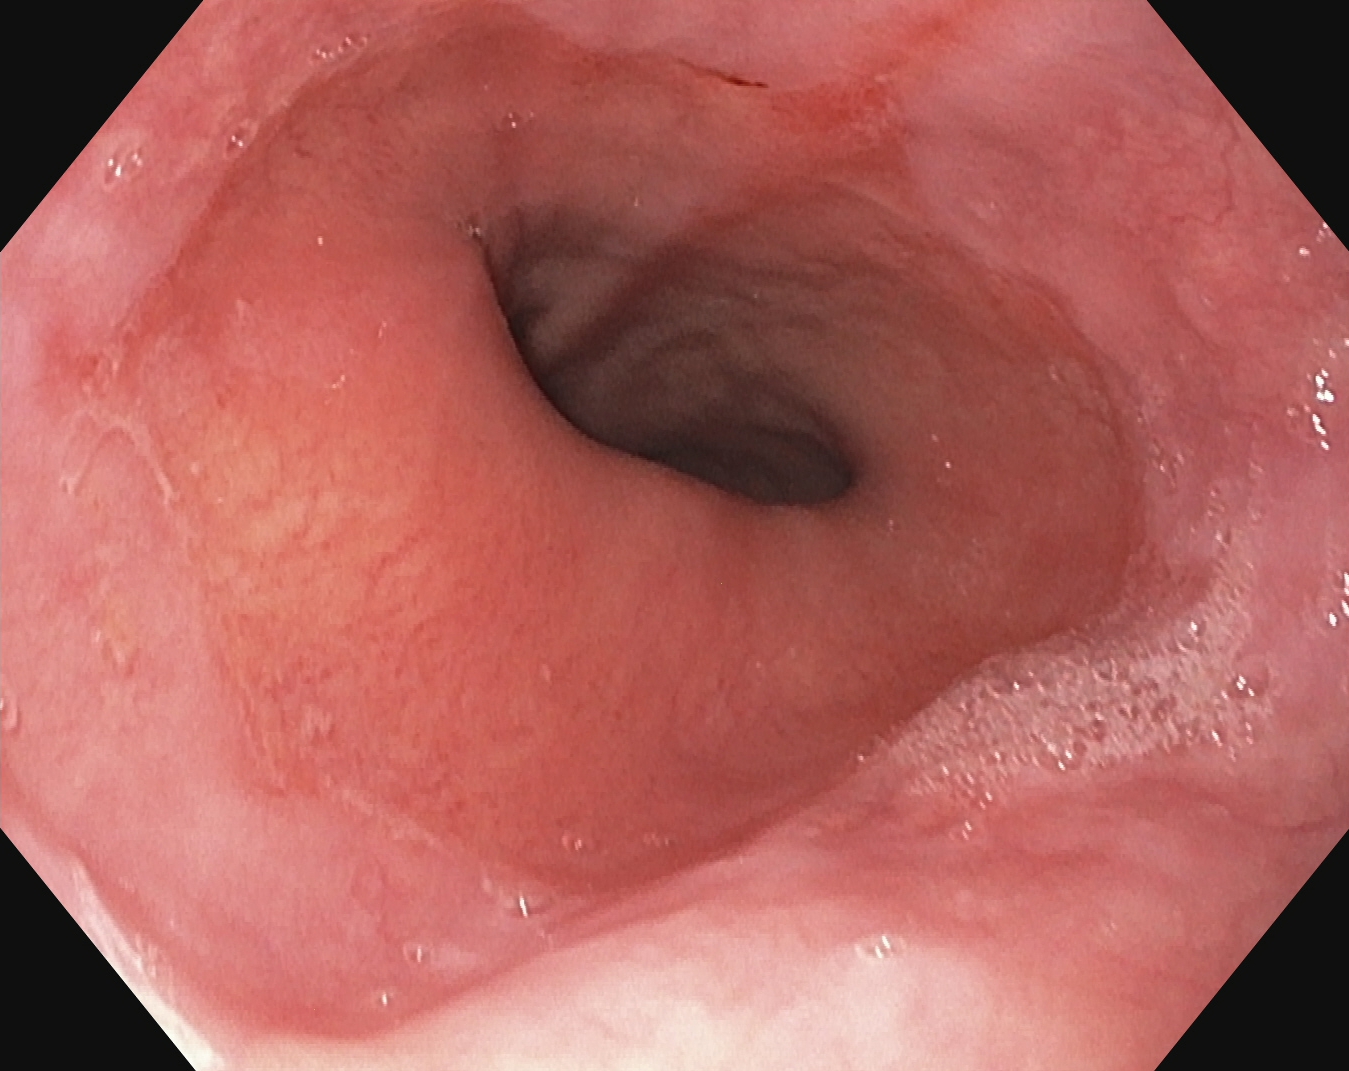Reflux esophagitis, Los Angeles grade A.